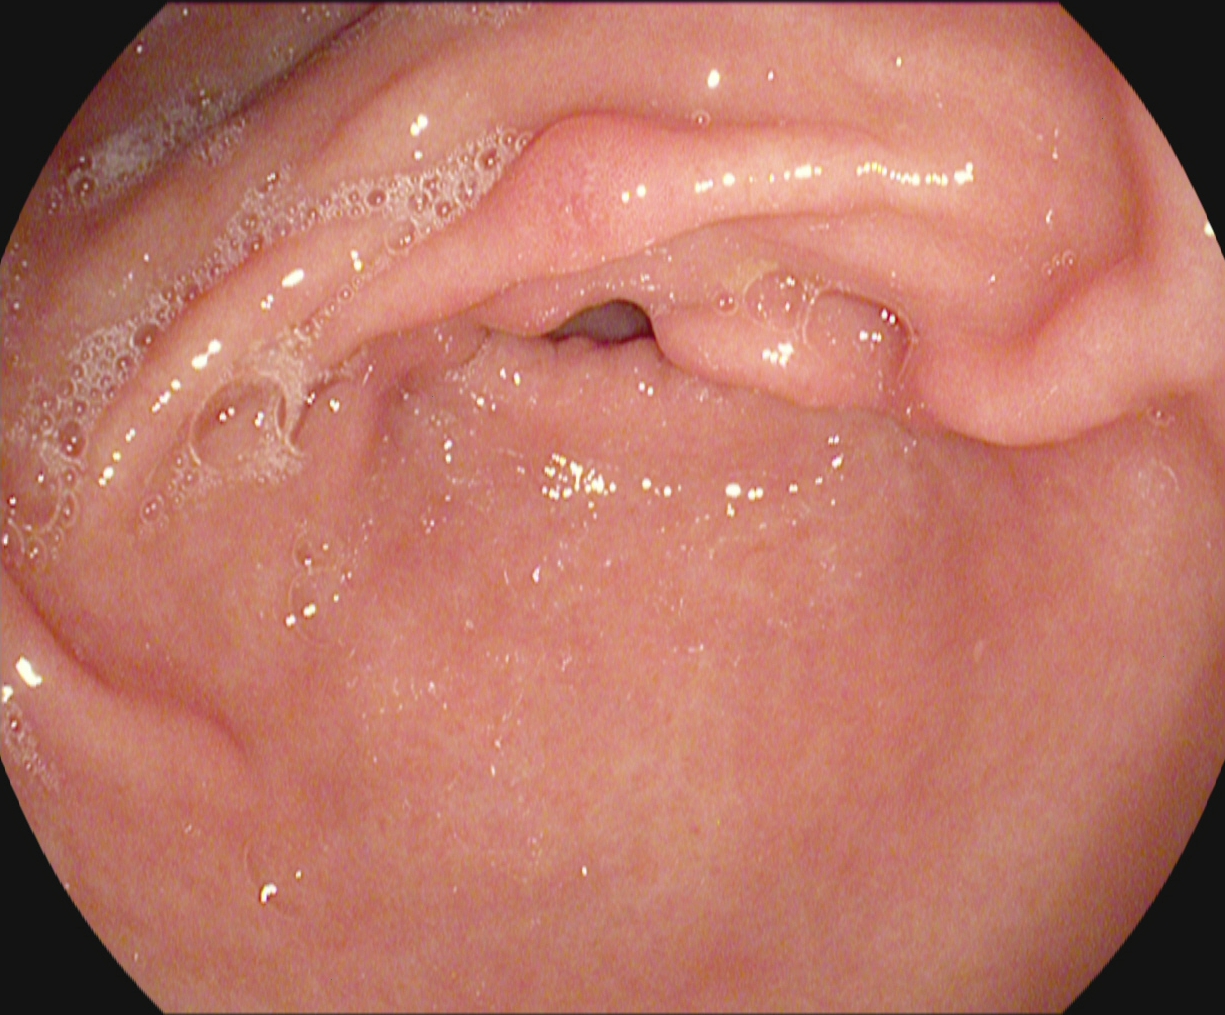pylorus.